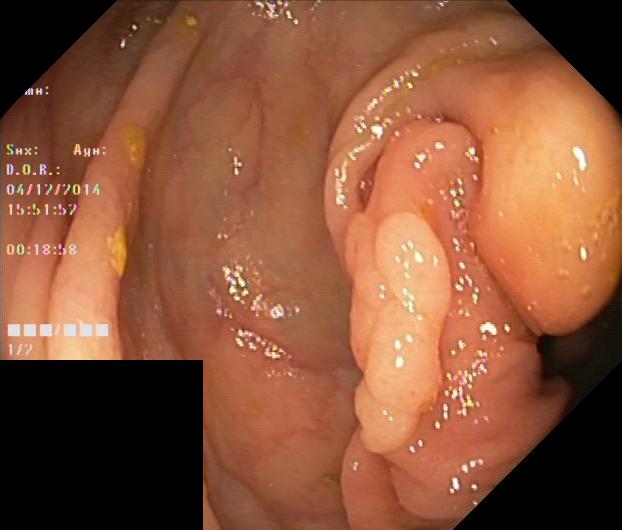Colorectal polyp(s).